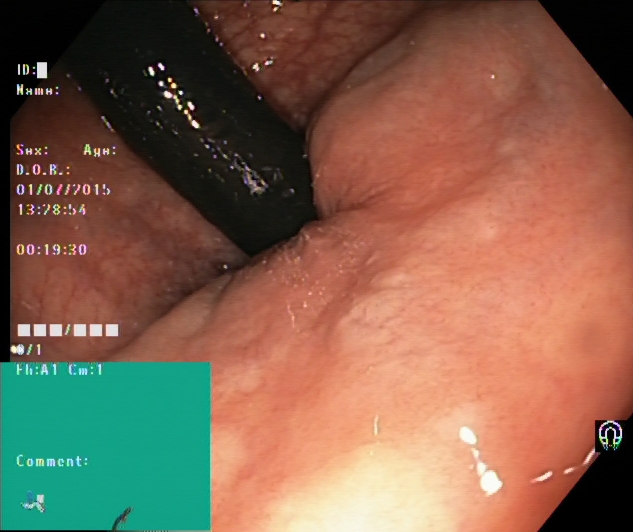{"modality": "lower-GI endoscopy", "category": "anatomical landmark", "finding": "rectum in retroflexion"}